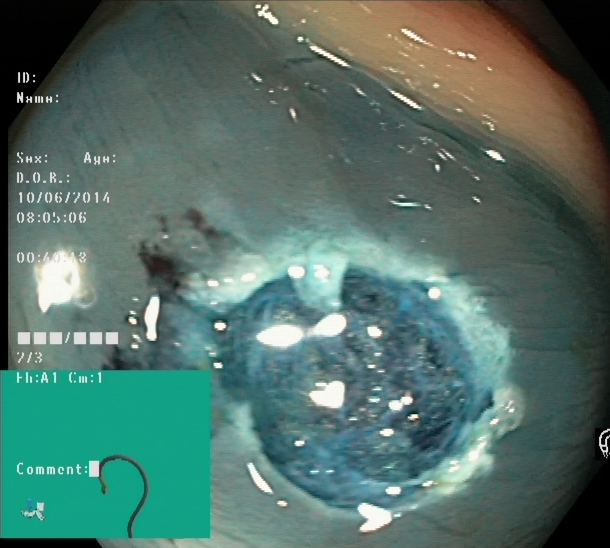dyed resection margins (post-polypectomy).